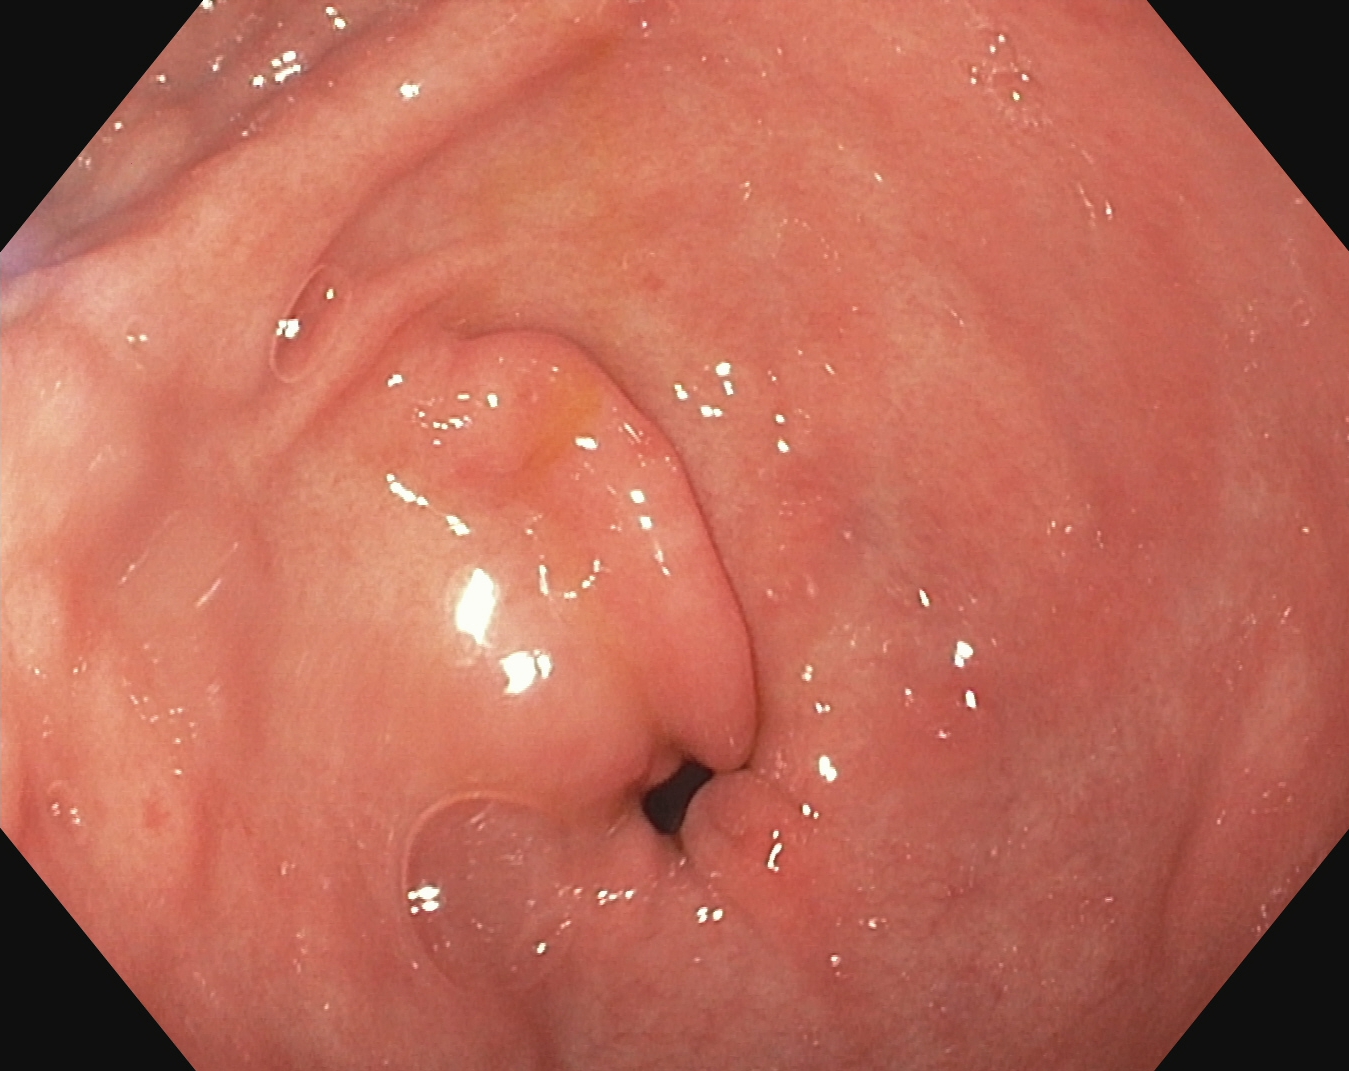Esophagogastroduodenoscopy — pylorus.